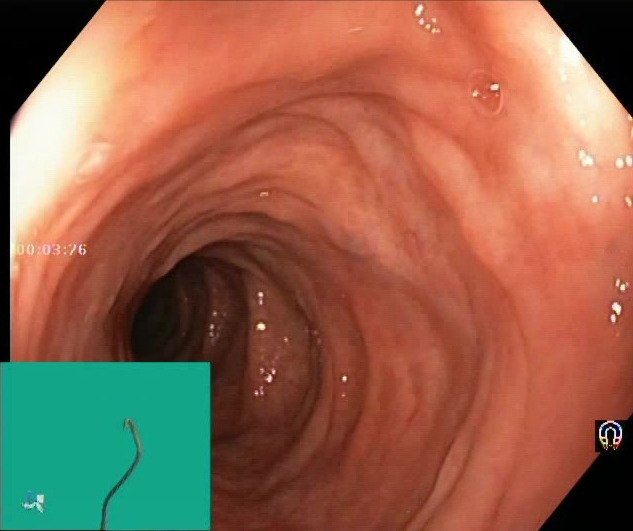This endoscopy frame of the lower GI tract shows Boston Bowel Preparation Scale score 2–3 (adequate preparation).